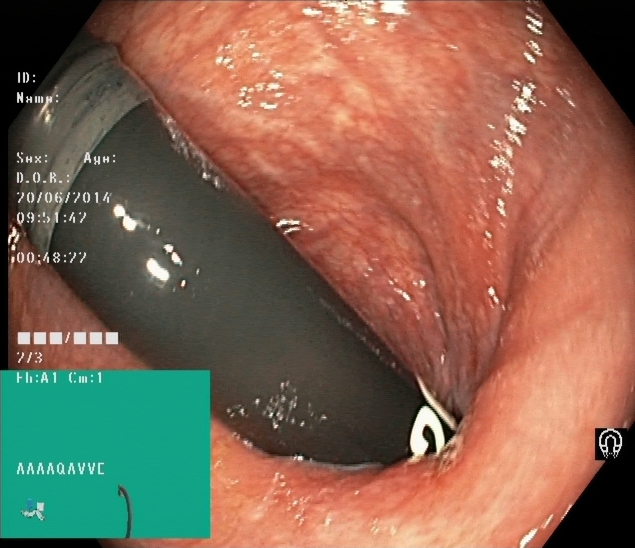Endoscopic image of the lower GI tract showing rectum in retroflexion.